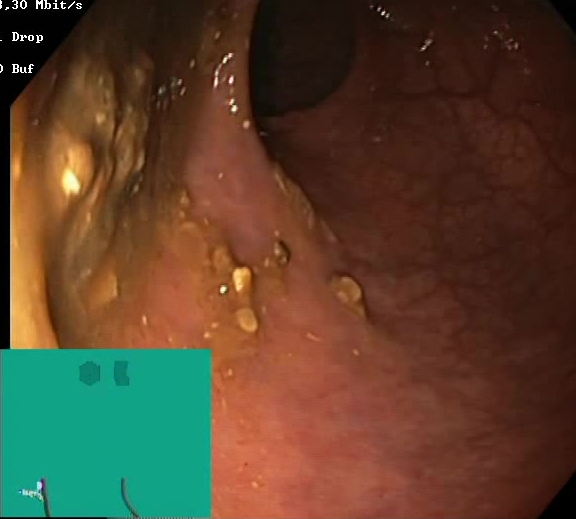{"modality": "lower-GI endoscopy", "tract": "lower GI tract", "finding": "Boston Bowel Preparation Scale score 0\u20131 (inadequate preparation)"}